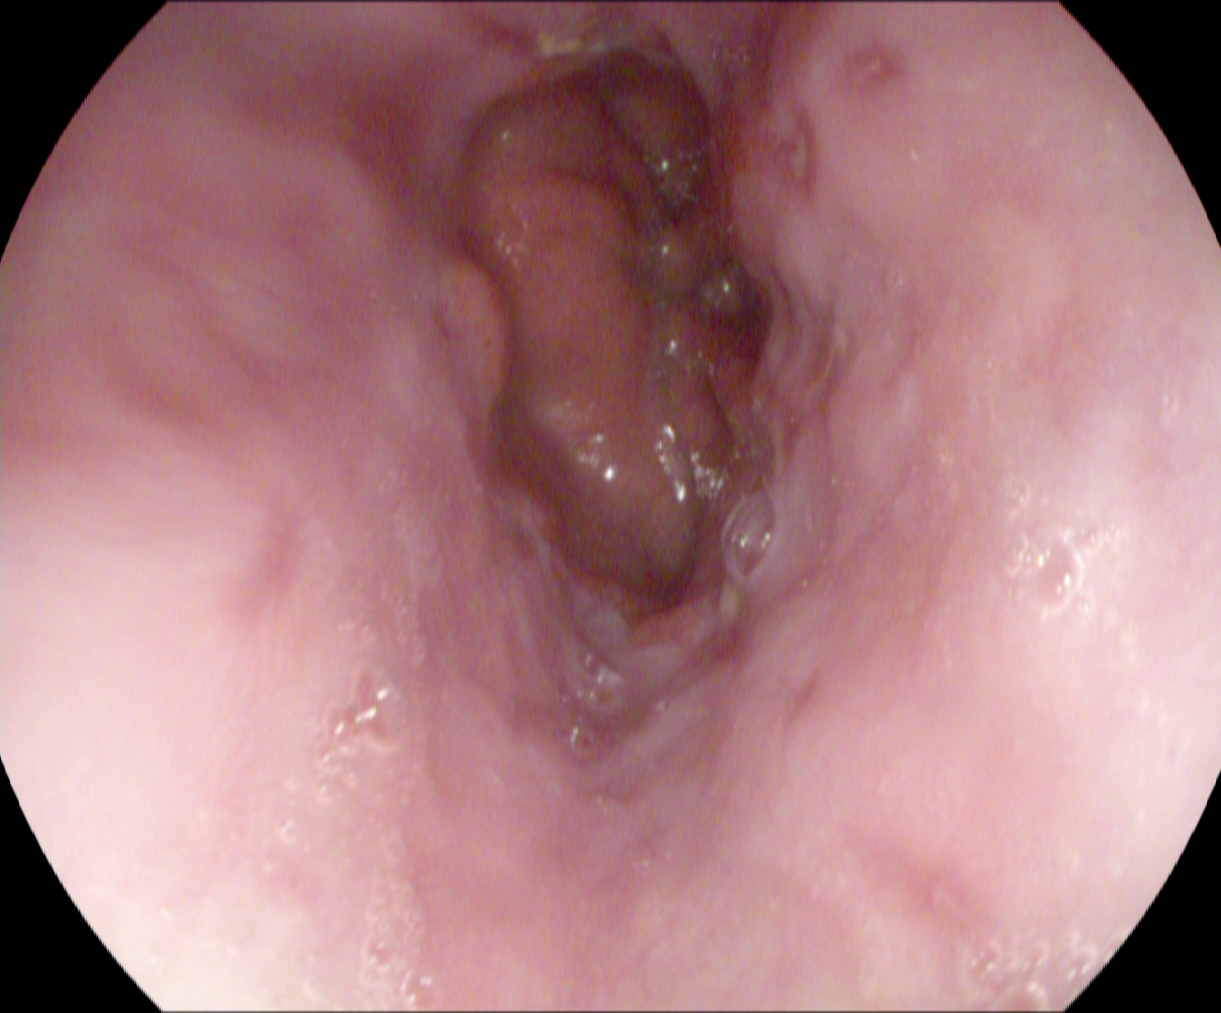Upper-GI endoscopy — reflux esophagitis, LA grade A.